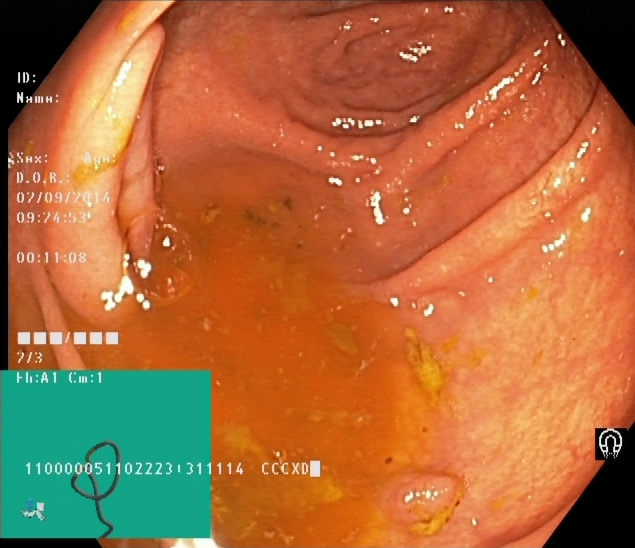Cecum.